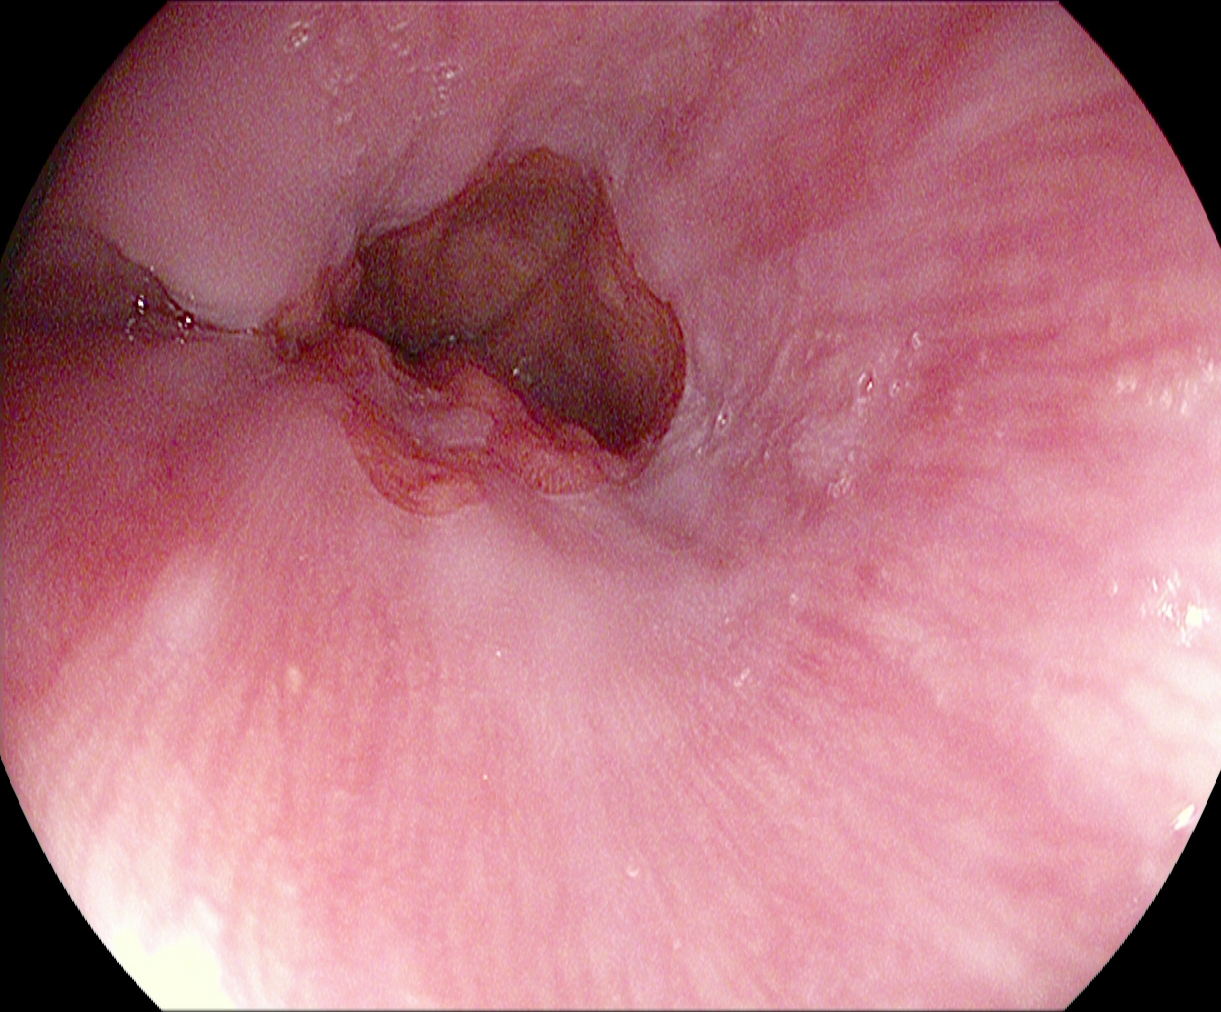This endoscopy frame of the upper GI tract shows reflux esophagitis, Los Angeles grade B–D.